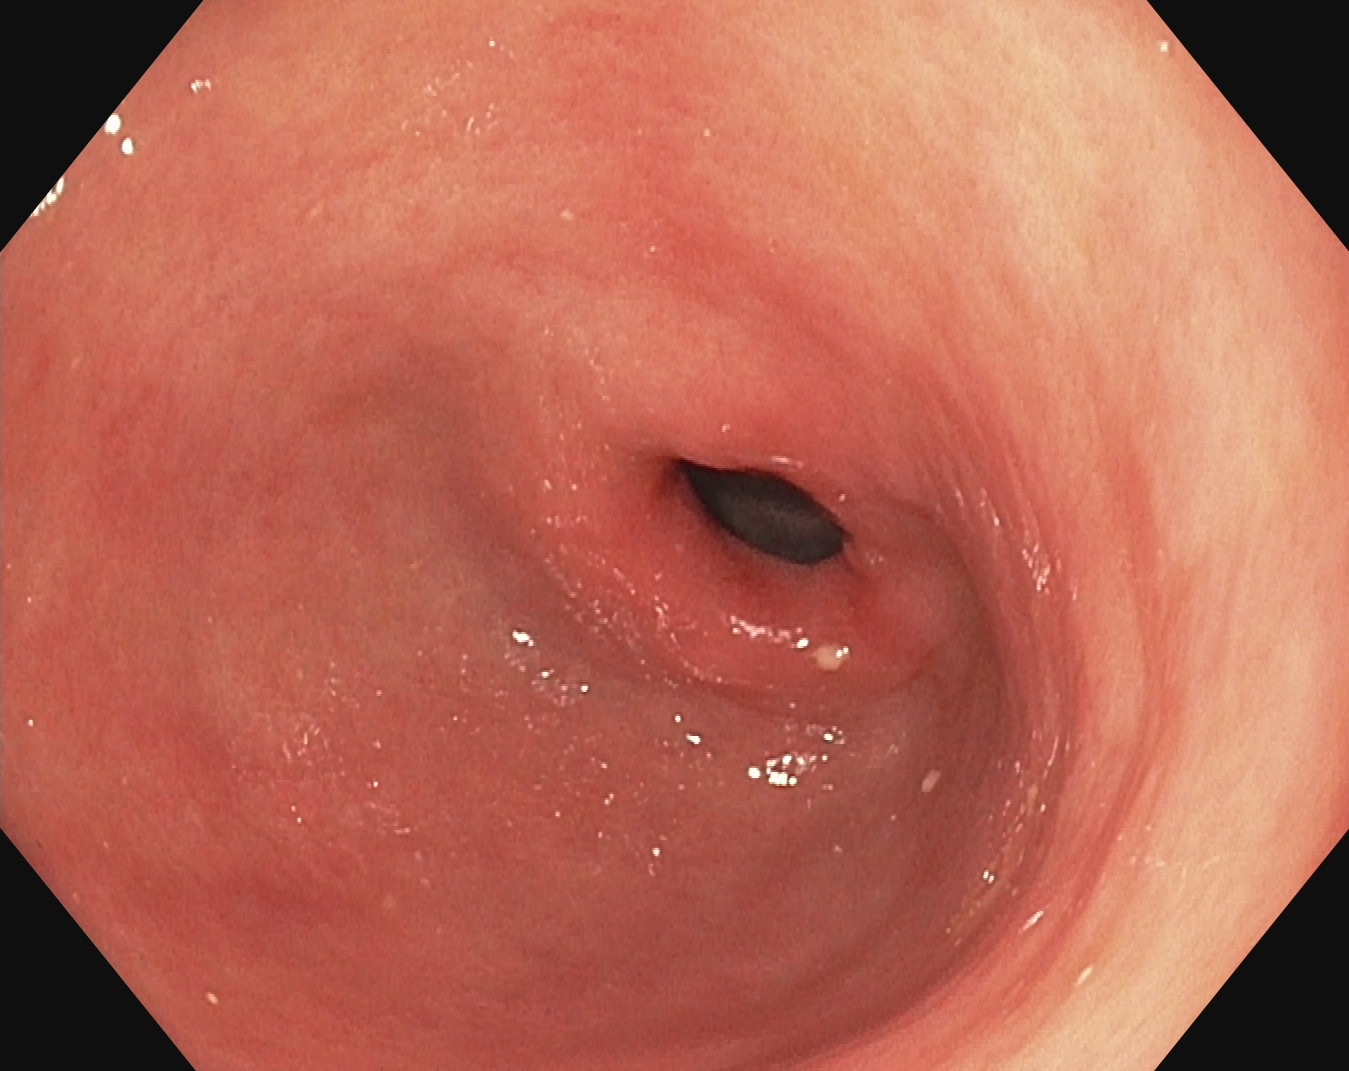modality: EGD; tract: upper GI tract; finding: pylorus